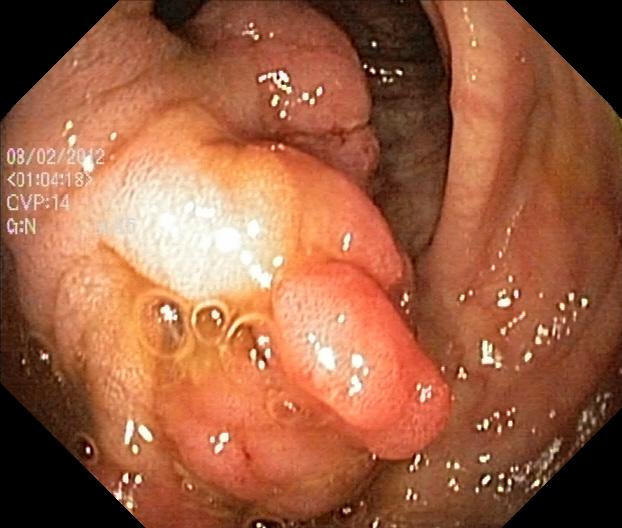modality: lower gastrointestinal endoscopy | tract: lower GI tract | finding: colorectal polyp(s)